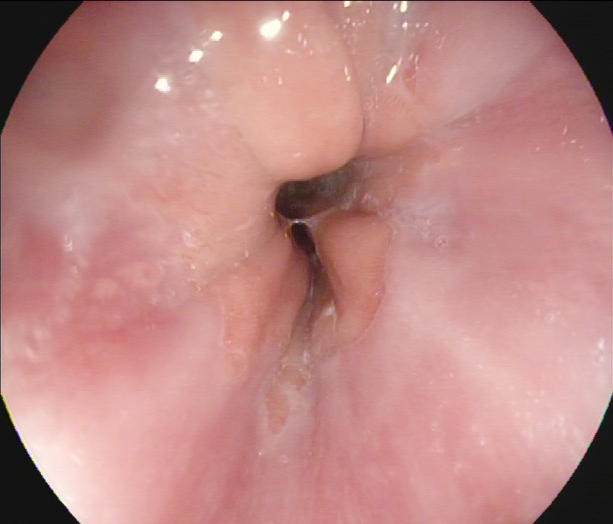PROCEDURE: Esophagogastroduodenoscopy.
FINDINGS: Z-line (gastroesophageal junction).